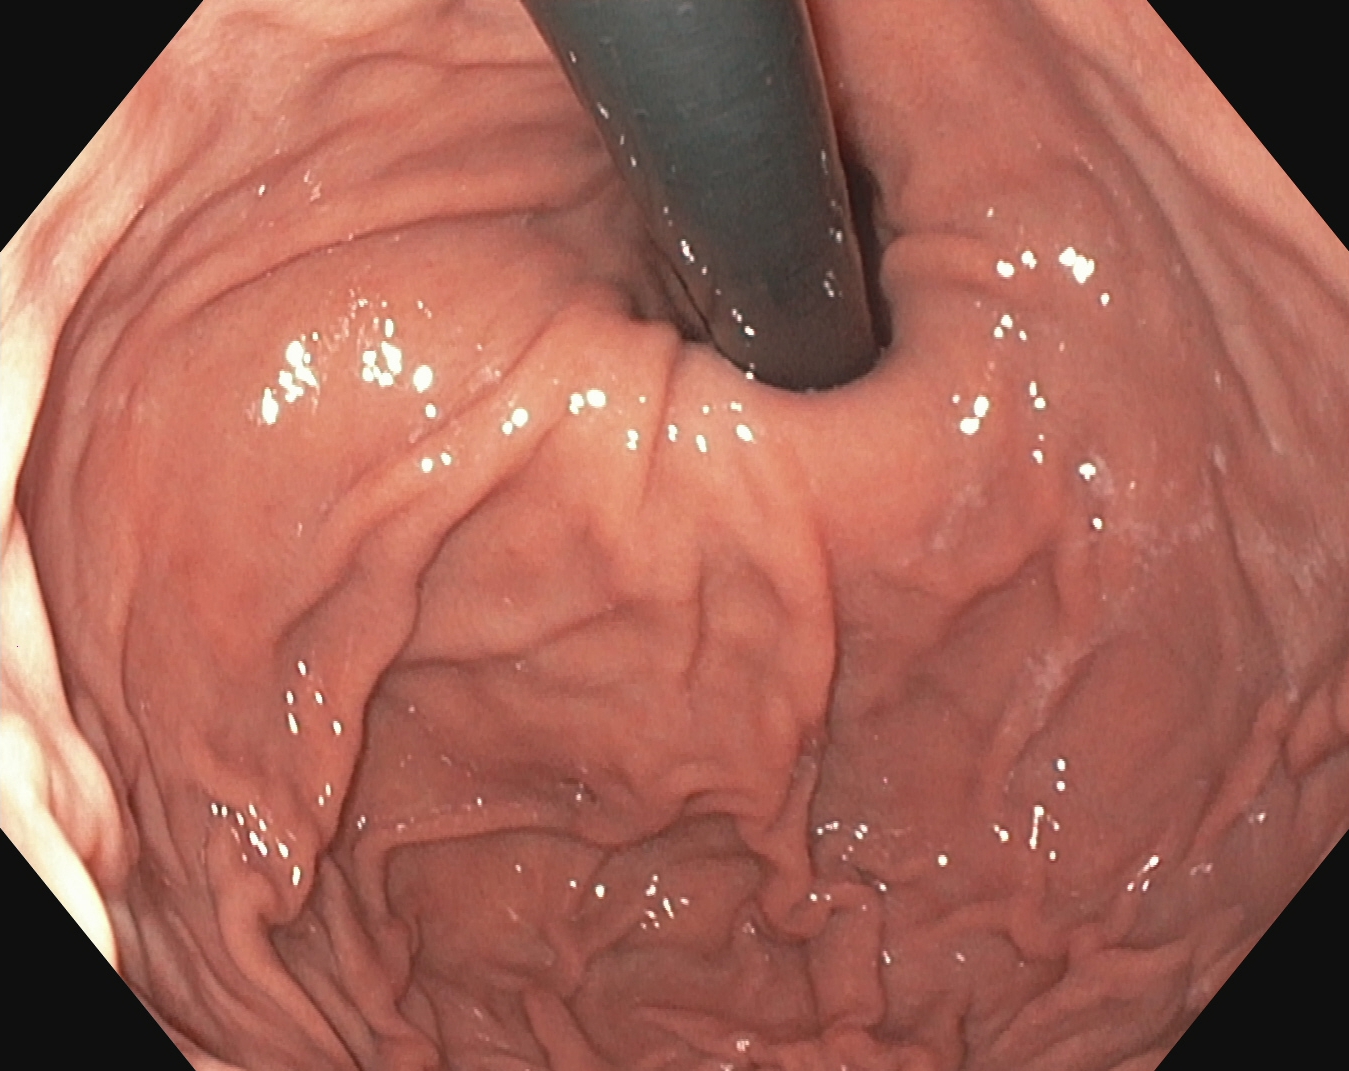This endoscopy frame shows stomach in retroflexion.